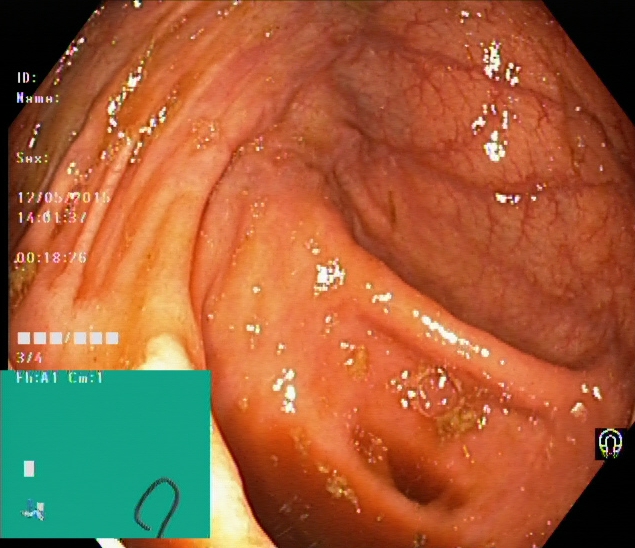This endoscopic image shows cecum.